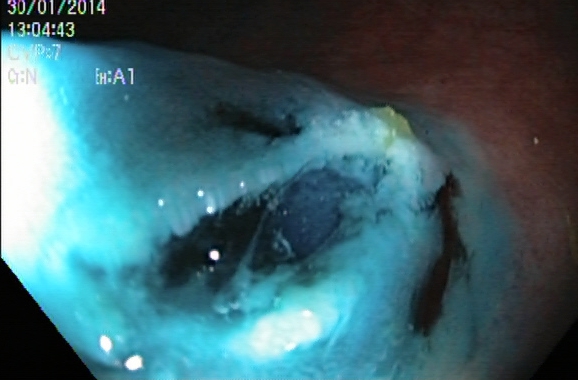{"modality": "colonoscopy", "category": "therapeutic intervention", "finding": "dyed resection margins (post-polypectomy)"}